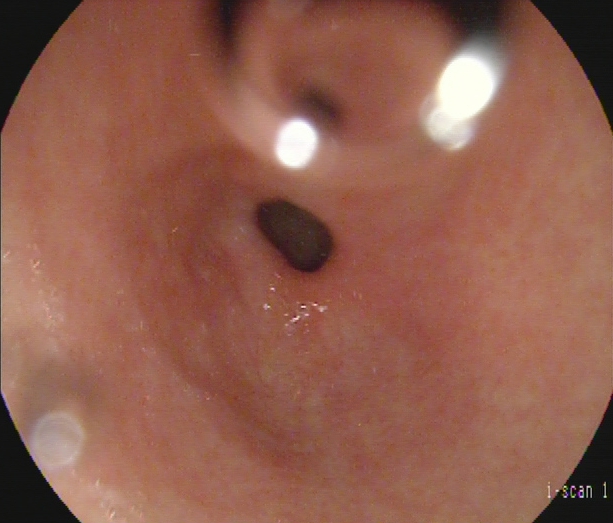Gastroscopy — pylorus.